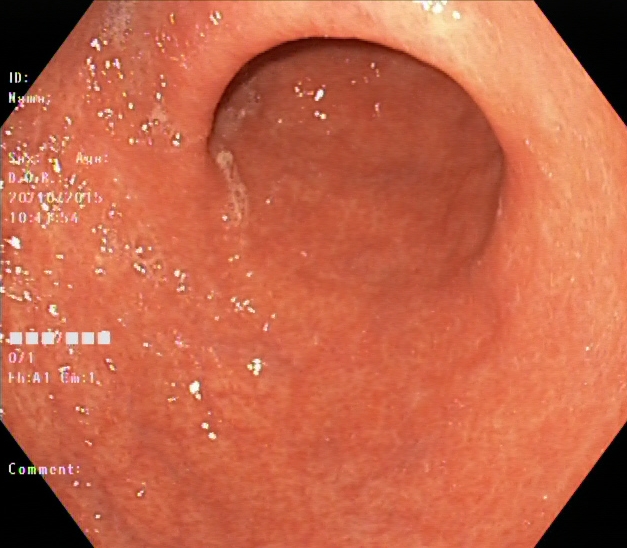ulcerative colitis, Mayo endoscopic subscore 1.